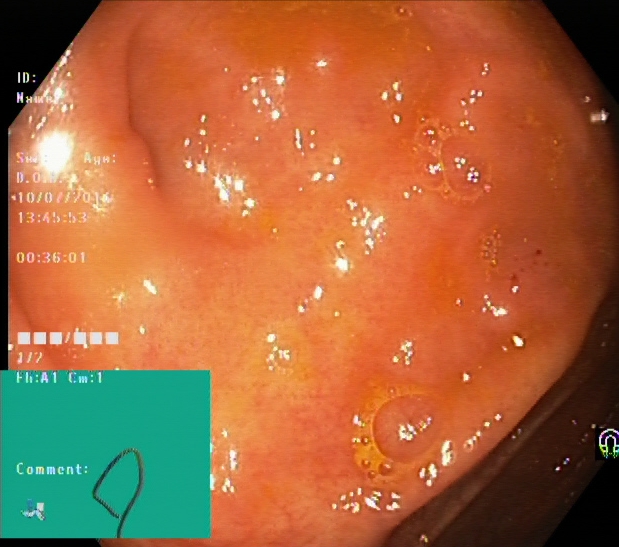GI endoscopy image showing cecum.